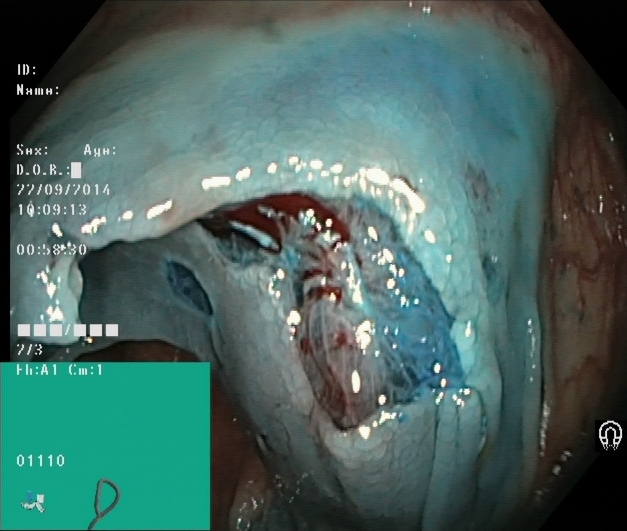This endoscopic image shows dyed resection margins (post-polypectomy).